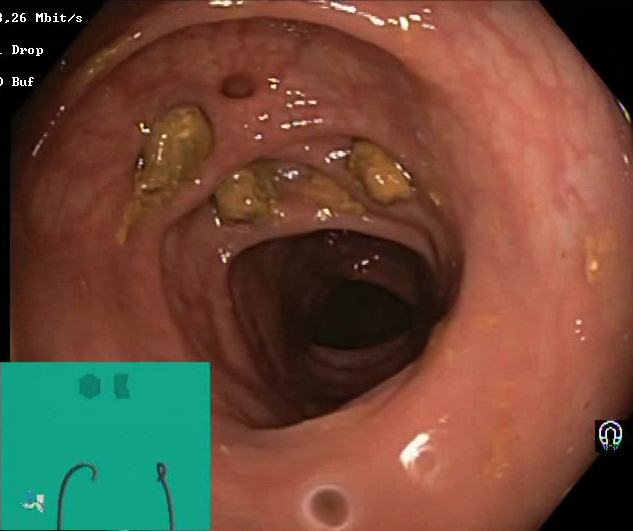modality: lower gastrointestinal endoscopy; tract: lower GI tract; category: mucosal-view quality; finding: impacted stool